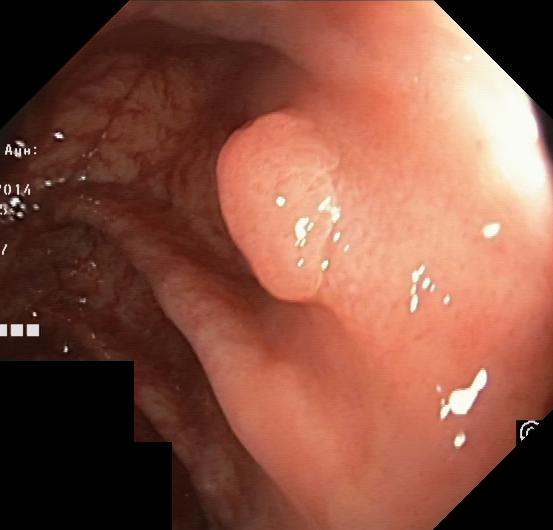{"modality": "lower gastrointestinal endoscopy", "tract": "lower GI tract", "finding": "colorectal polyp(s)"}